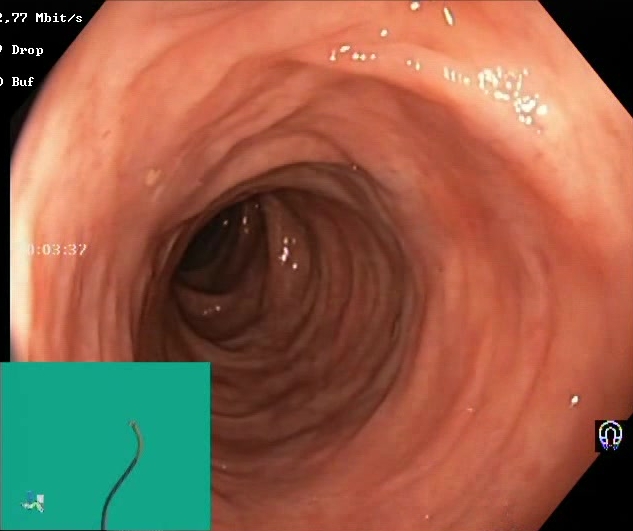modality: lower gastrointestinal endoscopy
tract: lower GI tract
finding: Boston Bowel Preparation Scale score 2–3 (adequate preparation)